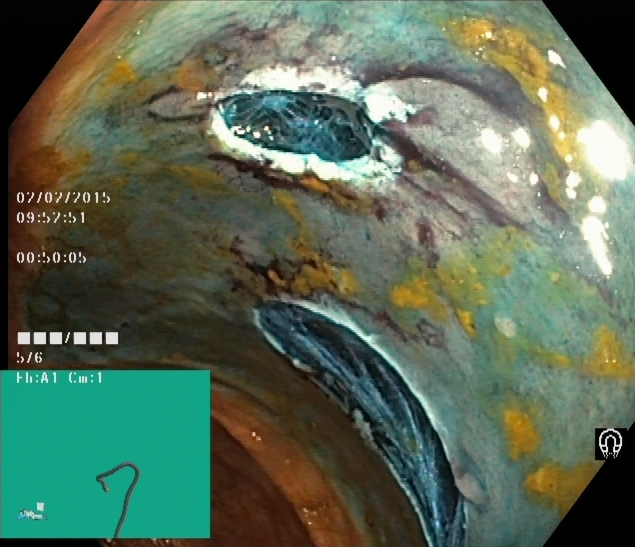Lower gastrointestinal endoscopy. Tract: lower GI tract. Finding: dyed resection margins (post-polypectomy).